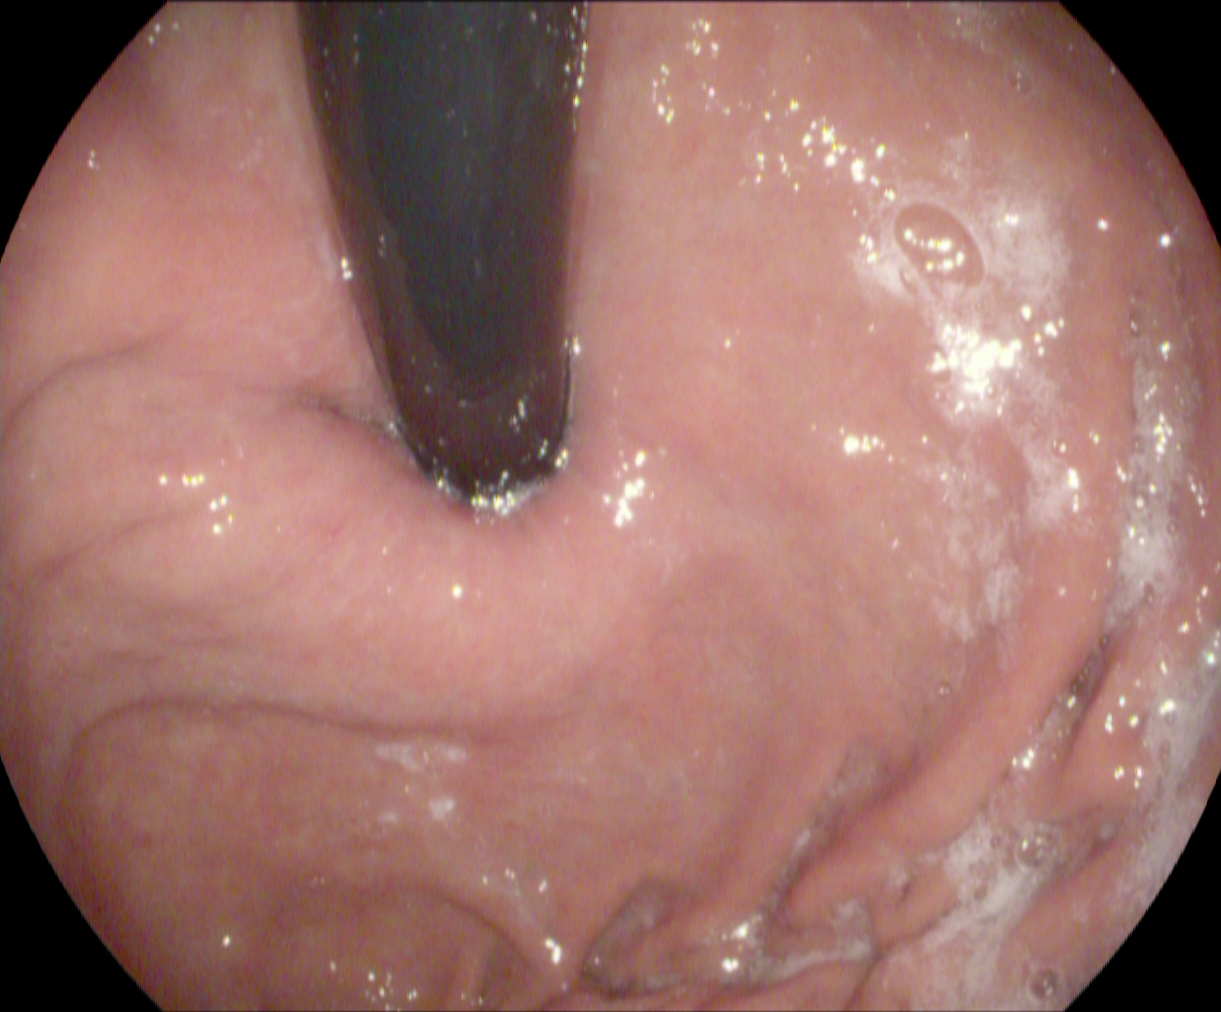{"modality": "gastroscopy", "tract": "upper GI tract", "finding": "stomach in retroflexion"}